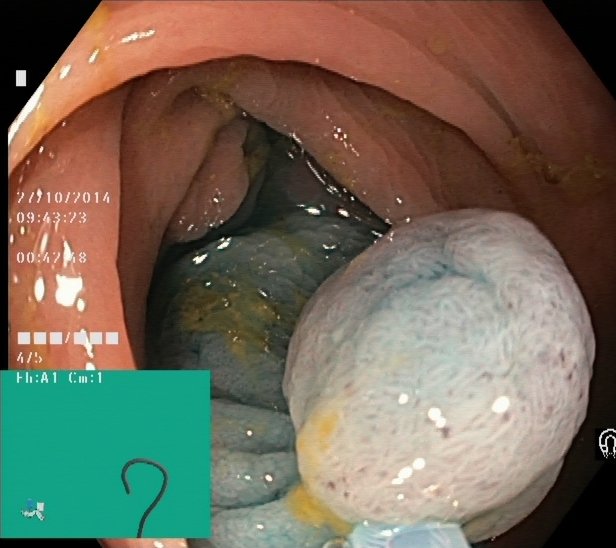modality: colonoscopy
tract: lower GI tract
finding: dyed and lifted polyp (pre-resection)